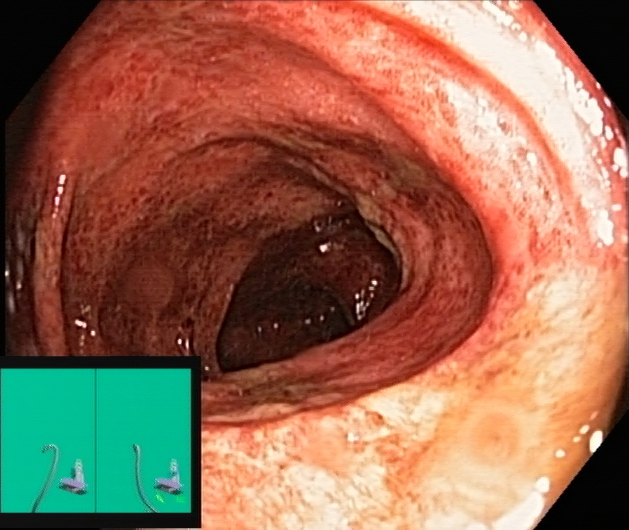Lower-GI endoscopy — UC, Mayo endoscopic subscore 2.